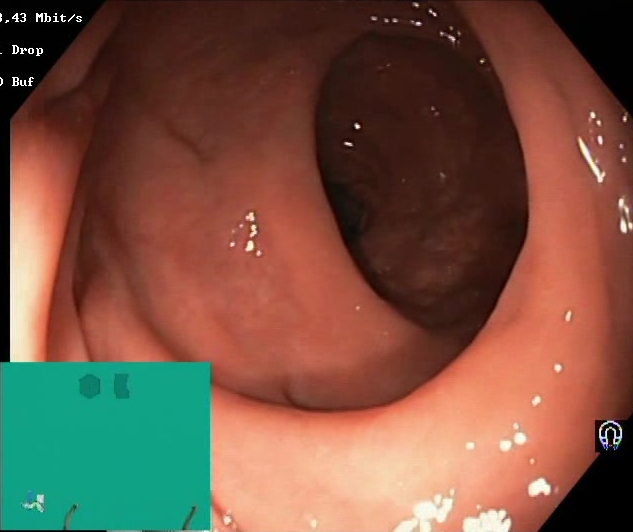modality: lower-GI endoscopy | finding: Boston Bowel Preparation Scale score 2–3 (adequate preparation)